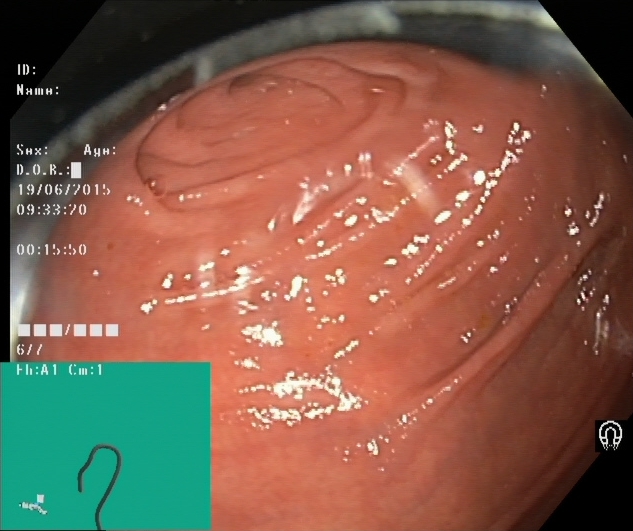Colonoscopy. Finding: cecum.